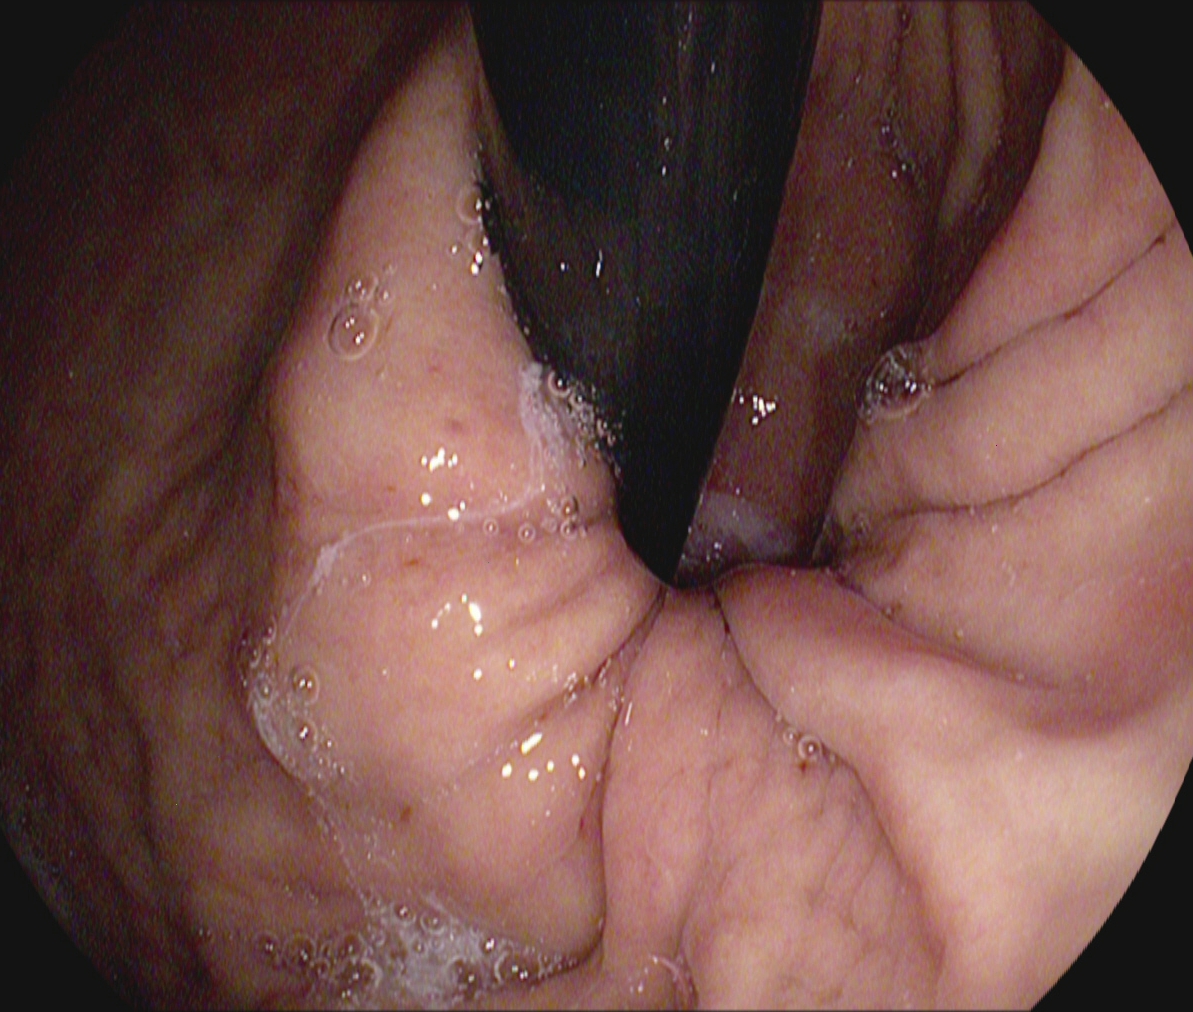PROCEDURE: Esophagogastroduodenoscopy.
FINDINGS: Stomach in retroflexion.